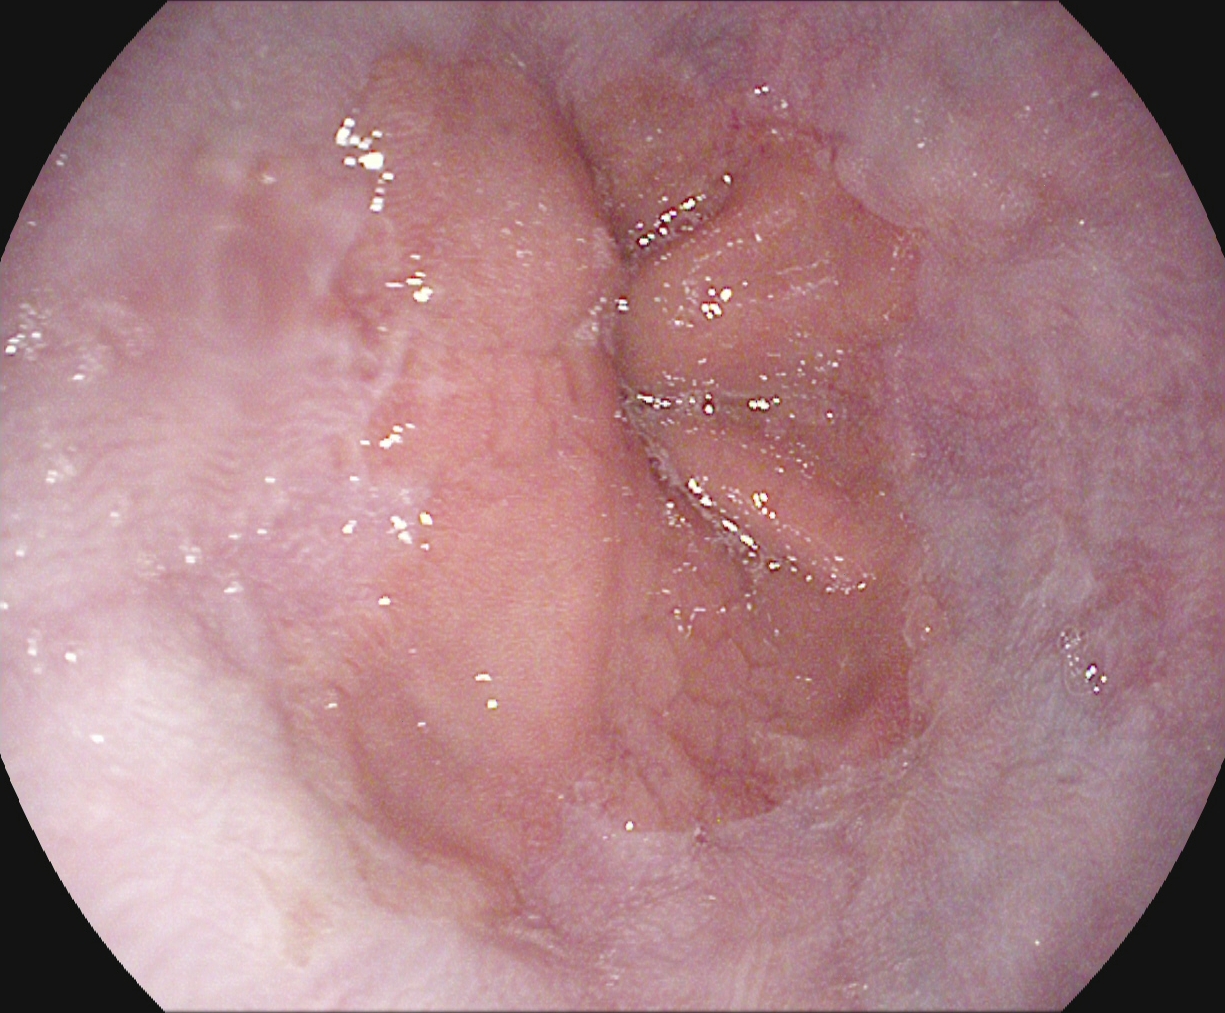{"modality": "esophagogastroduodenoscopy", "tract": "upper GI tract", "category": "anatomical landmark", "finding": "Z-line (gastroesophageal junction)"}